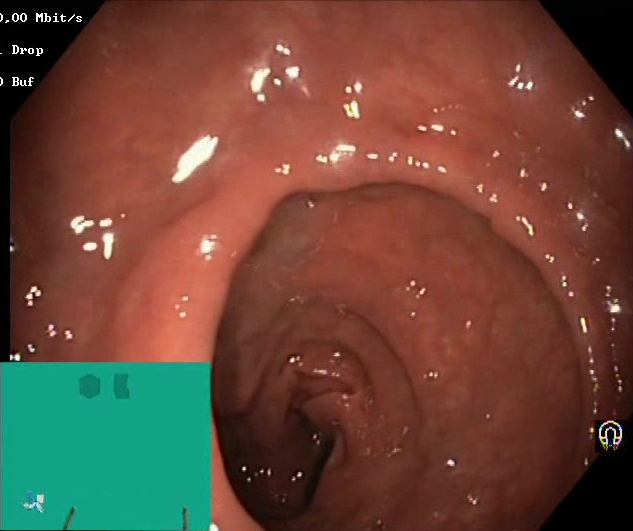BBPS score 2–3 (adequate preparation).